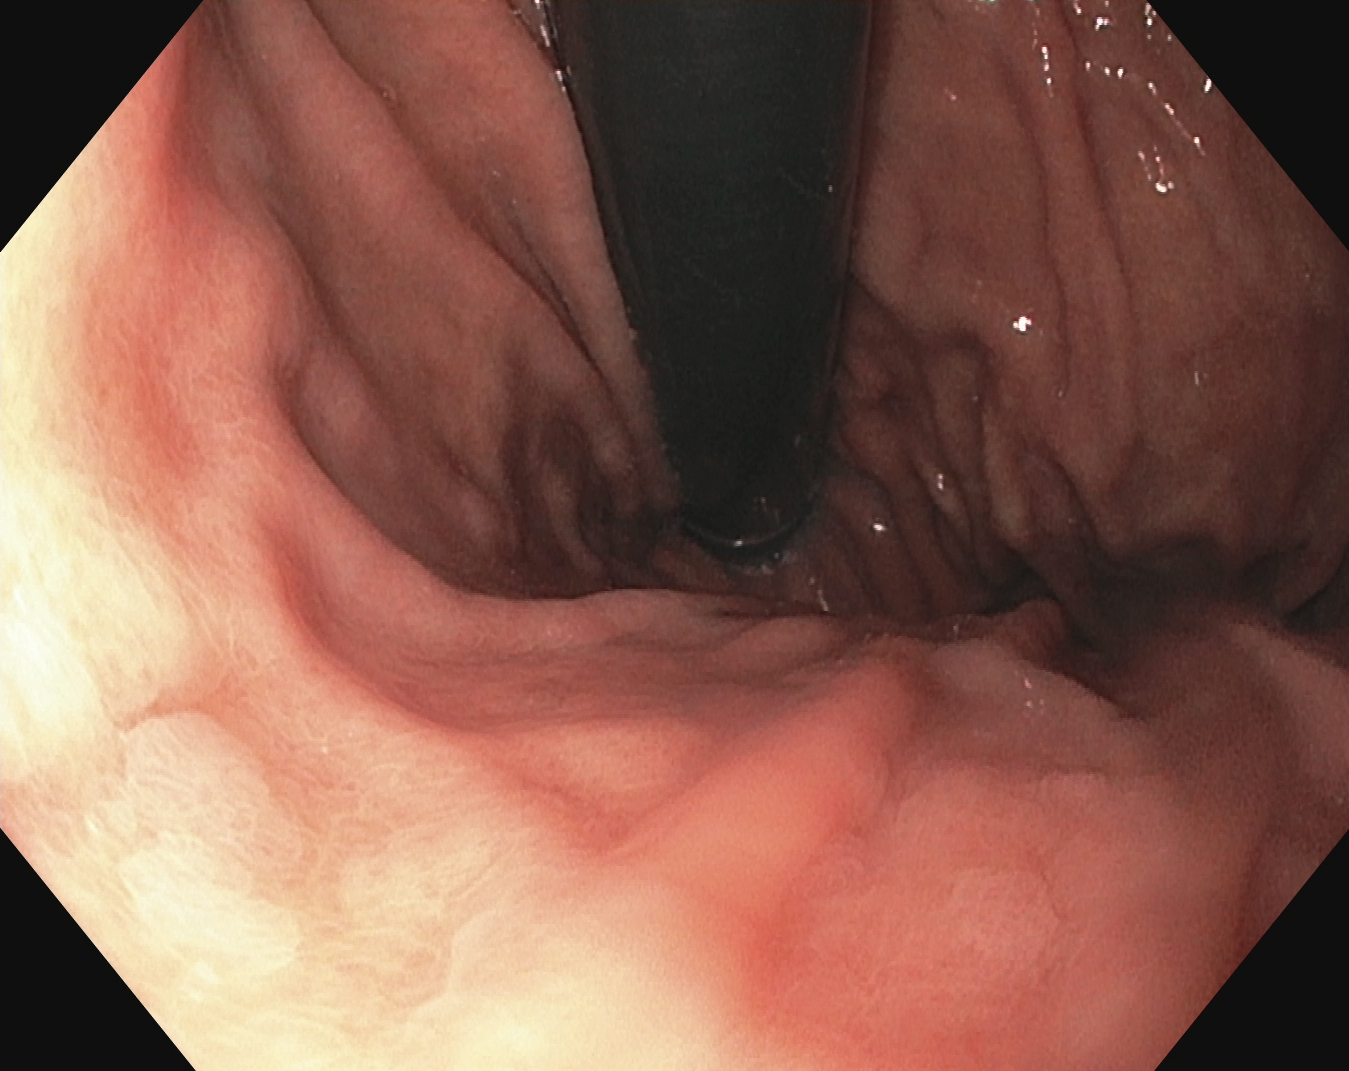PROCEDURE: EGD.
CATEGORY: Anatomical landmark.
FINDINGS: Stomach in retroflexion.